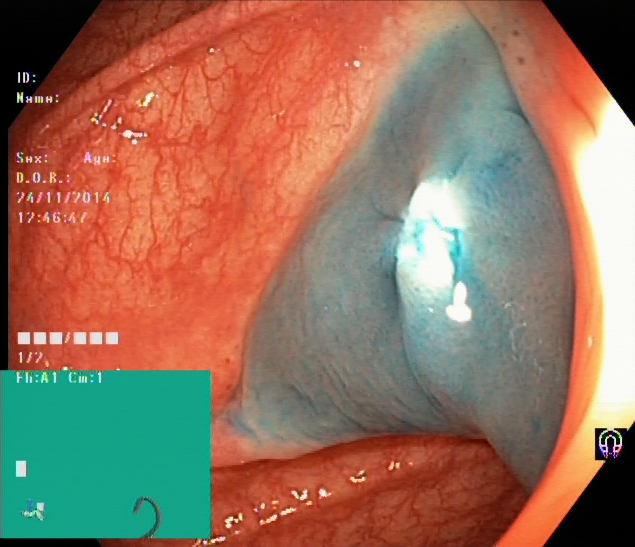Colonoscopy. Finding: dyed resection margins (post-polypectomy).